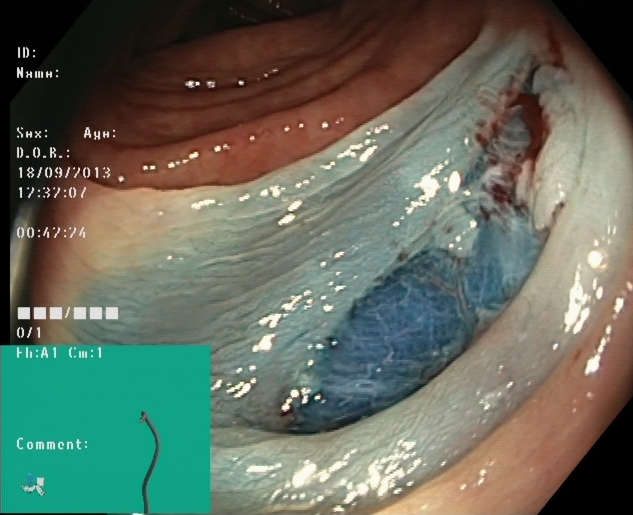Dyed resection margins (post-polypectomy).